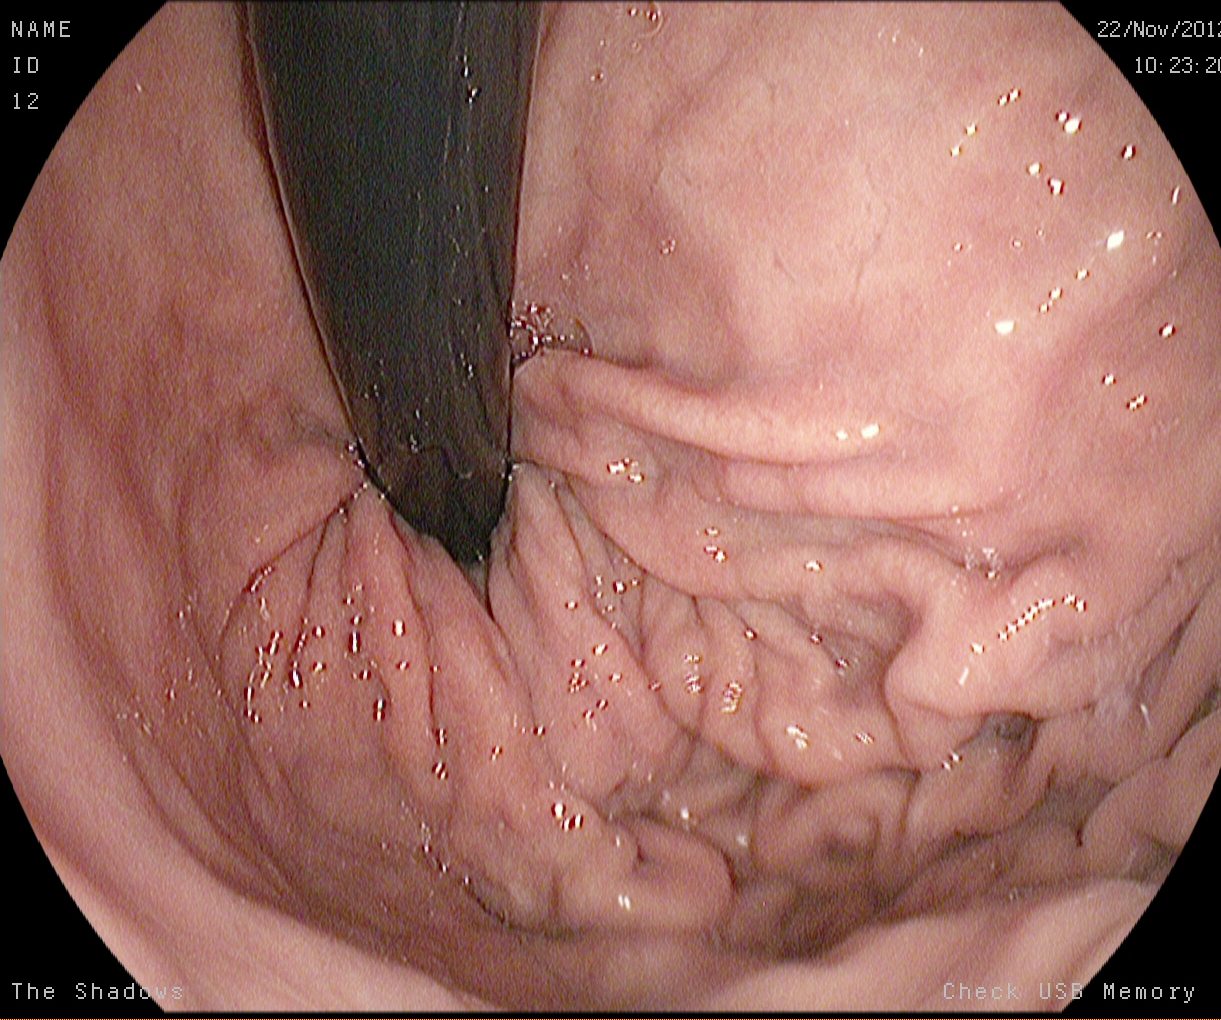Stomach in retroflexion.